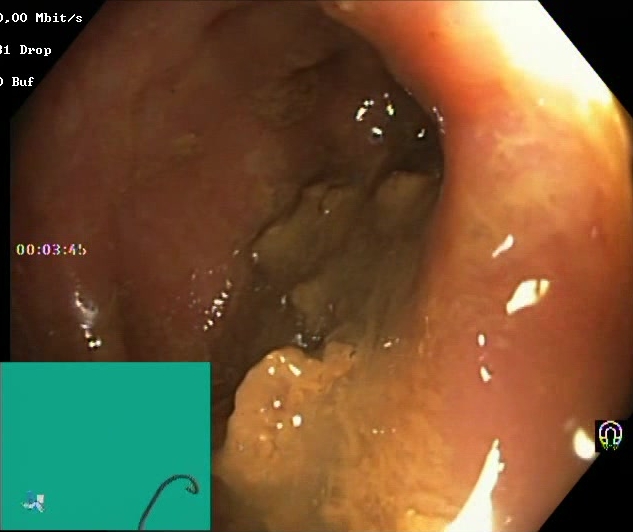This endoscopic image of the lower GI tract shows BBPS score 0–1 (inadequate preparation).